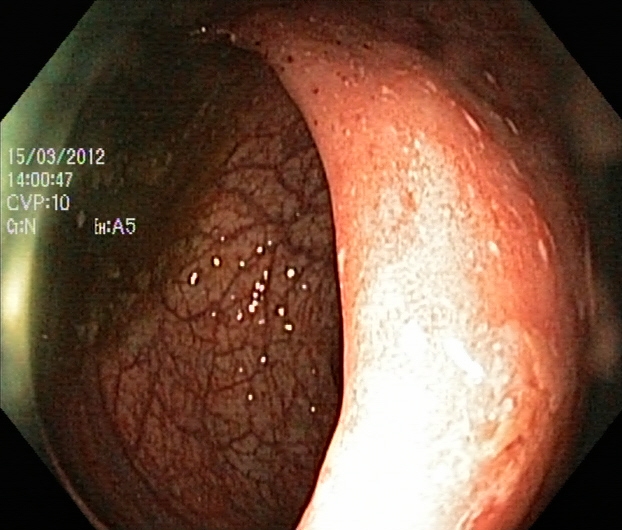This endoscopy frame shows ulcerative colitis, Mayo endoscopic subscore 0–1.